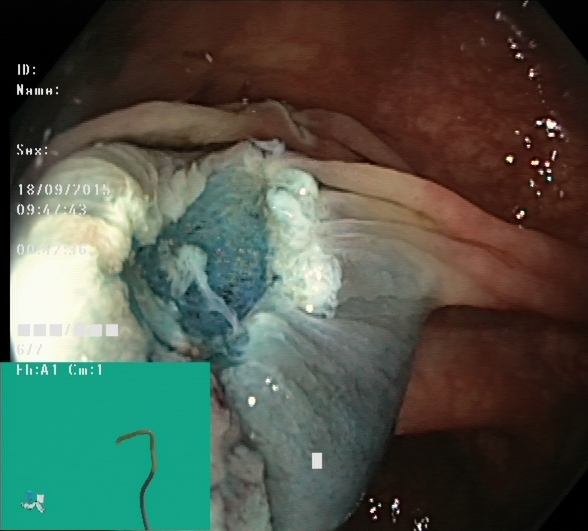Colonoscopy. Tract: lower GI tract. Therapeutic intervention. Finding: dyed resection margins (post-polypectomy).